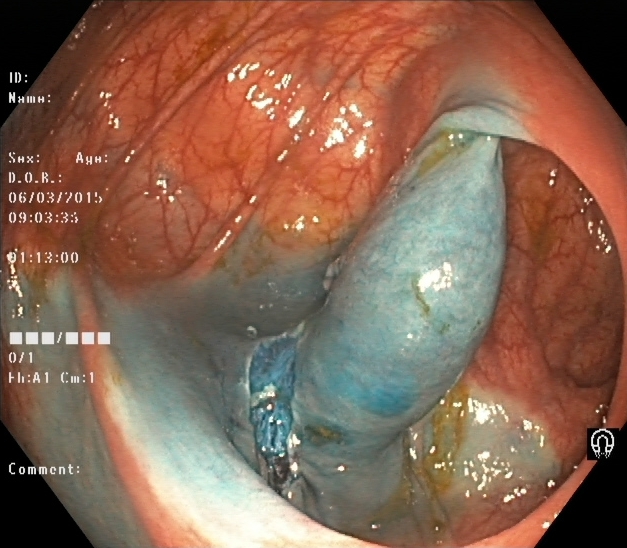This endoscopy frame shows dyed resection margins (post-polypectomy).